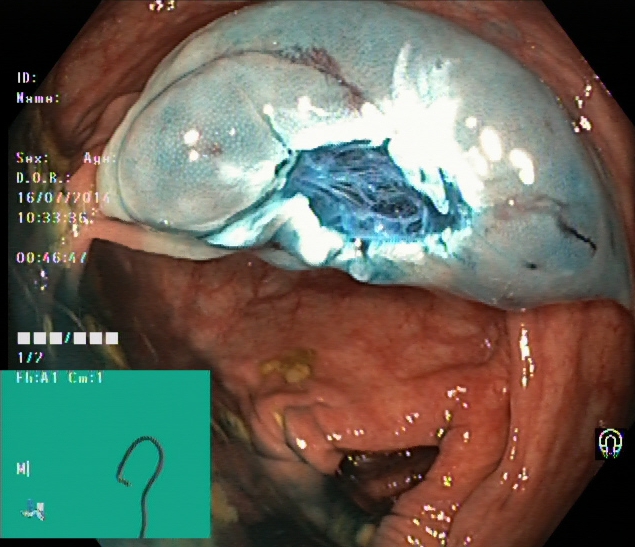This endoscopy frame of the lower GI tract shows dyed resection margins (post-polypectomy).